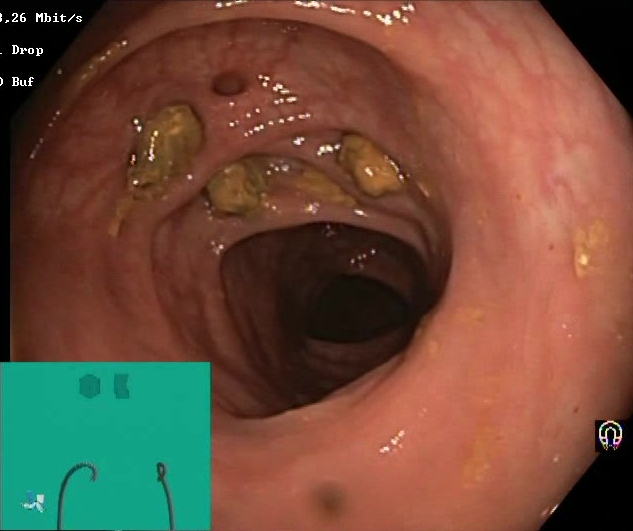modality: colonoscopy
tract: lower GI tract
category: mucosal-view quality
finding: impacted stool